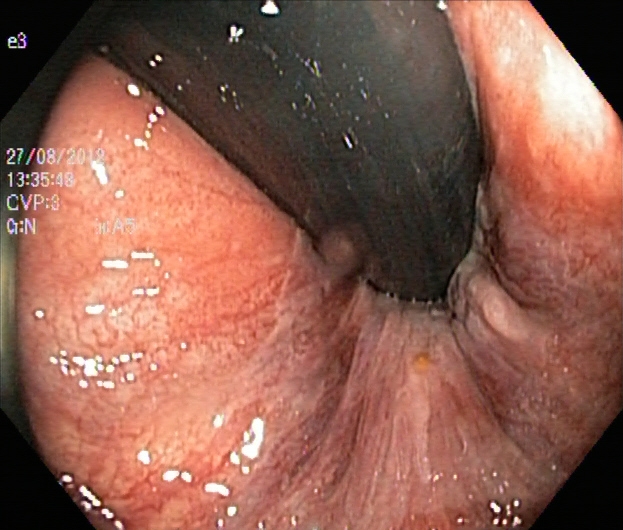Lower gastrointestinal endoscopy. Finding: rectum in retroflexion.